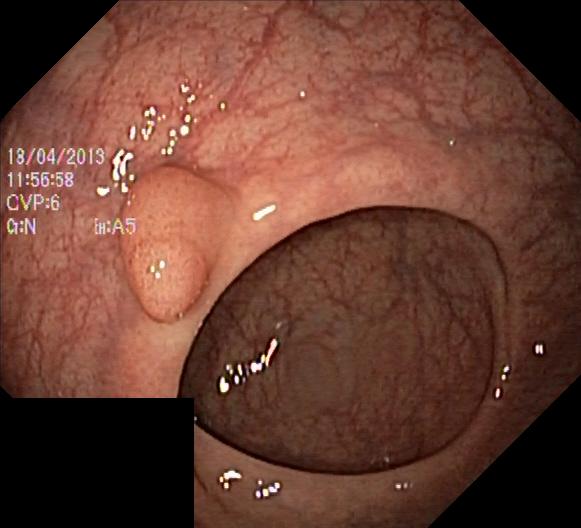{"modality": "lower-GI endoscopy", "category": "pathological finding", "finding": "colorectal polyp(s)"}